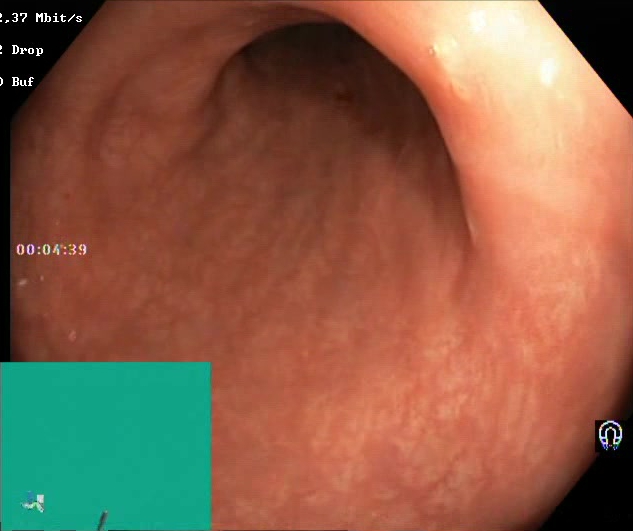modality: lower gastrointestinal endoscopy; finding: BBPS score 2–3 (adequate preparation)